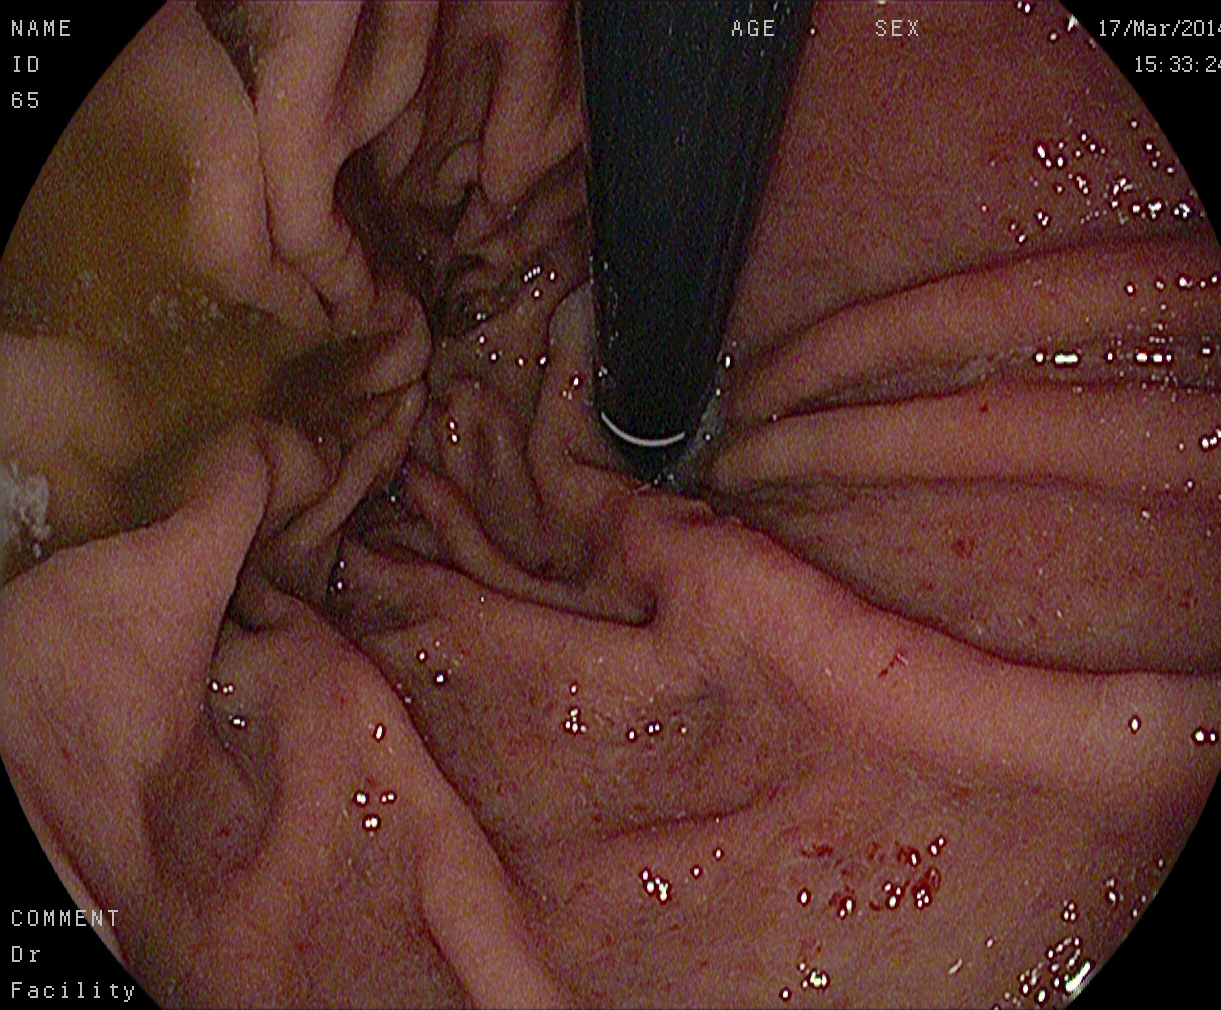PROCEDURE: Upper-GI endoscopy.
FINDINGS: Stomach in retroflexion.